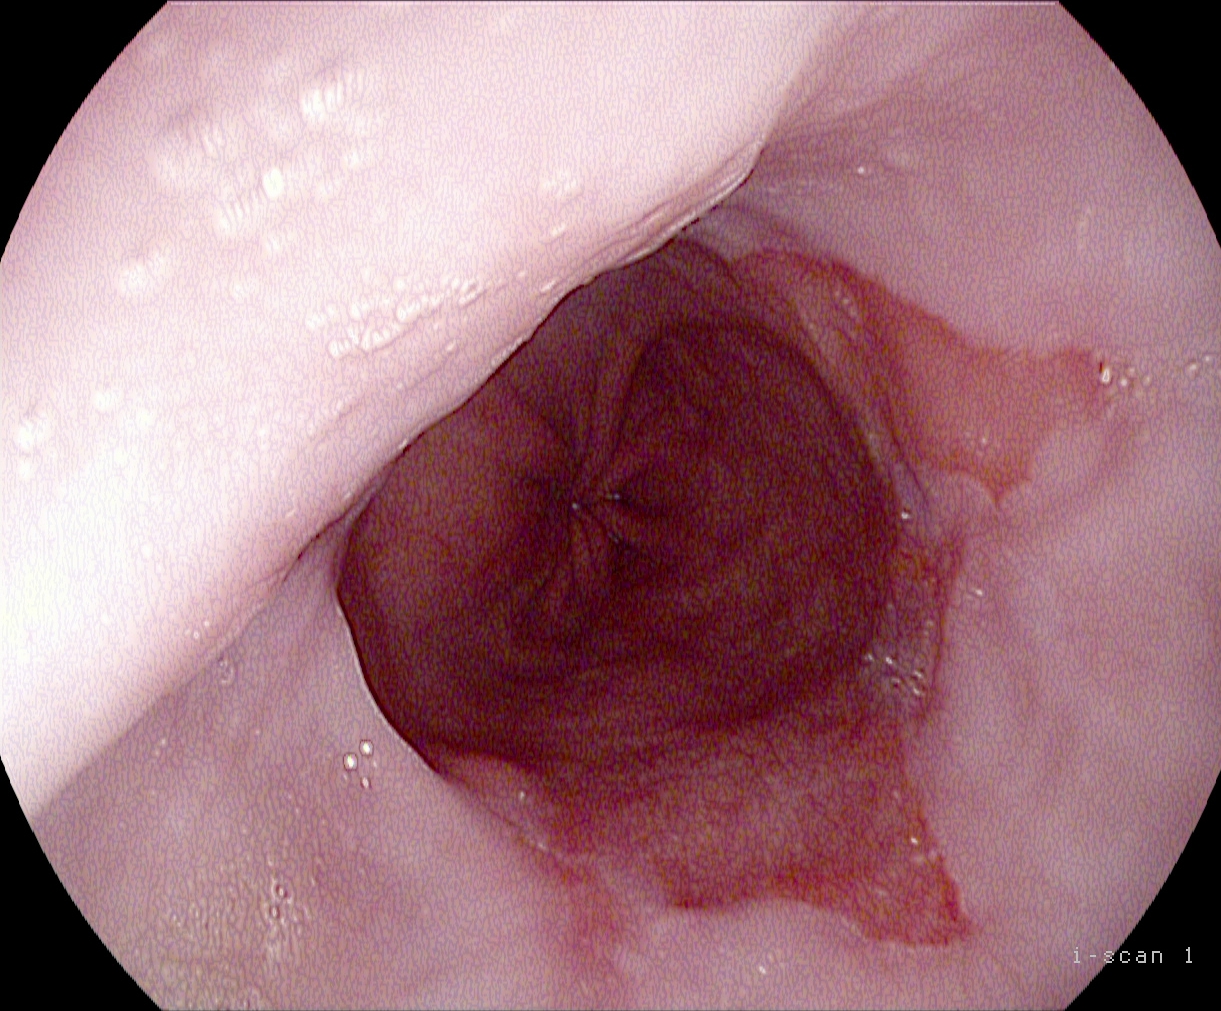Barrett's esophagus, short segment.